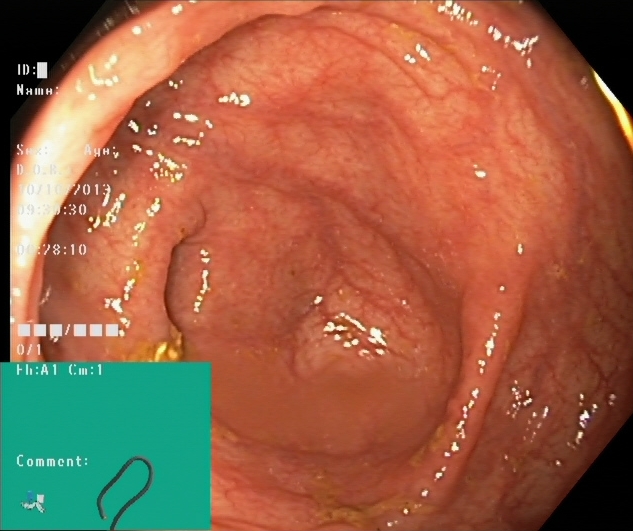Lower-GI endoscopy. Finding: cecum.